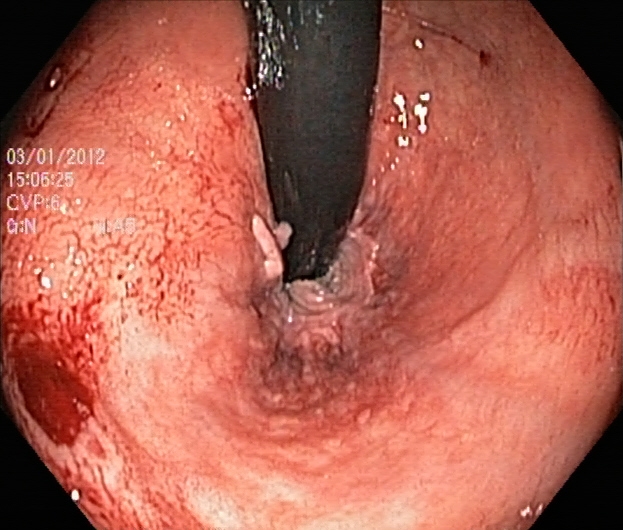modality: lower gastrointestinal endoscopy | finding: rectum in retroflexion